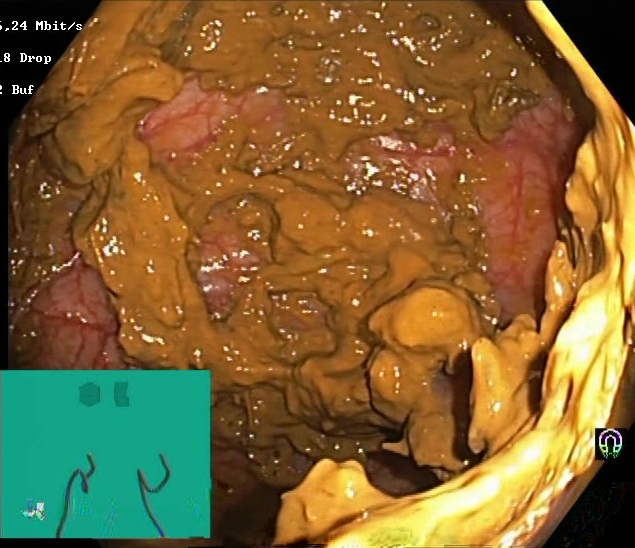PROCEDURE: Lower gastrointestinal endoscopy.
FINDINGS: BBPS score 0–1 (inadequate preparation).